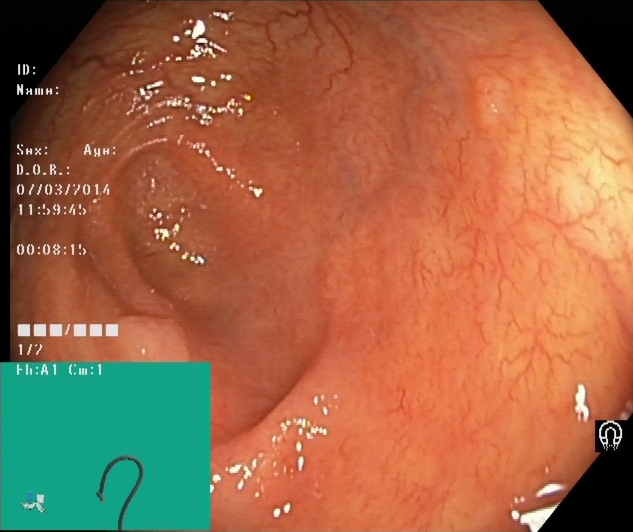Lower-GI endoscopy — cecum.